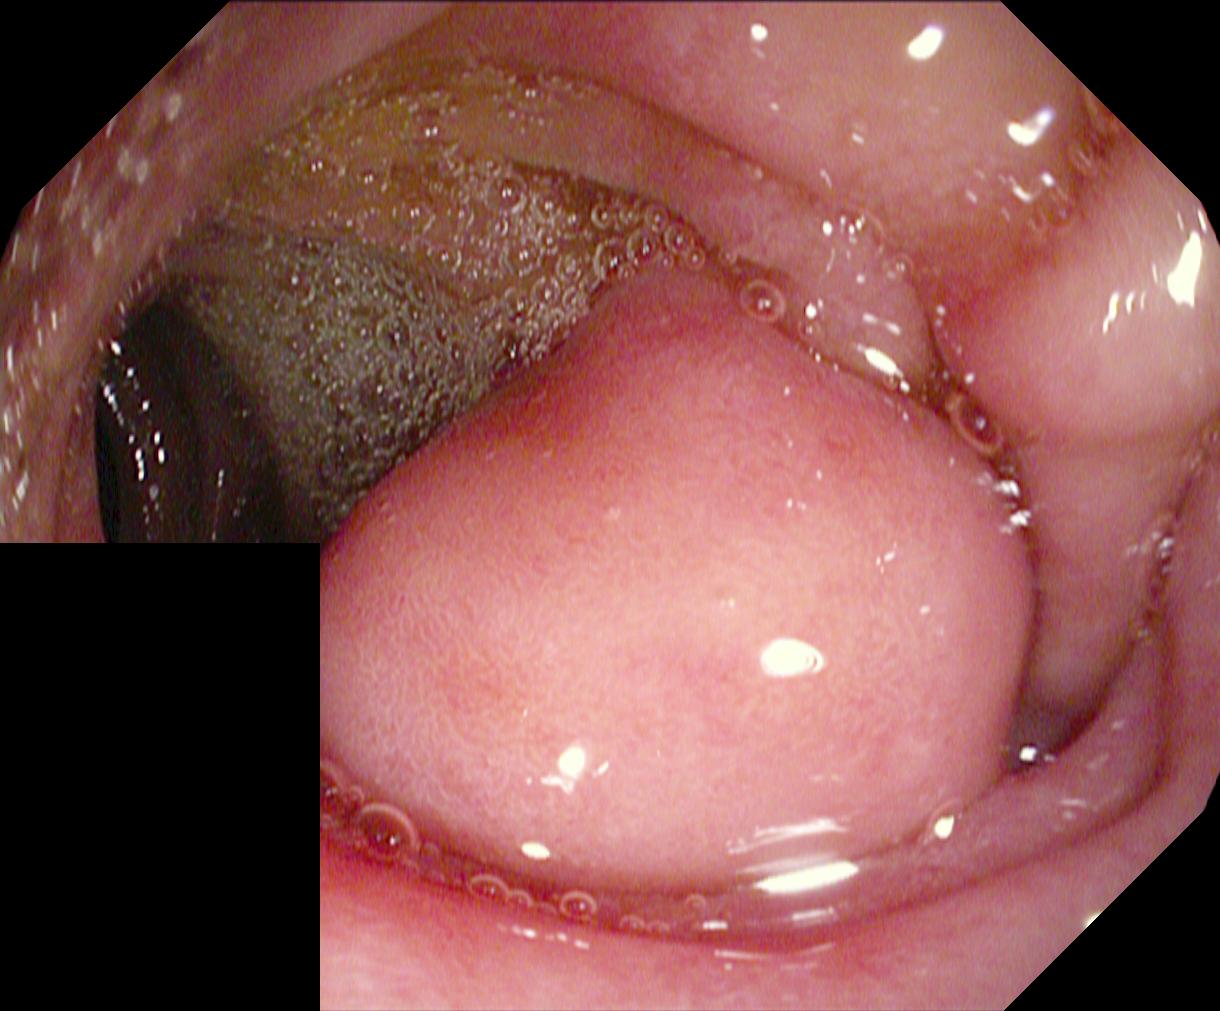modality: lower gastrointestinal endoscopy | tract: lower GI tract | finding: colorectal polyp(s)